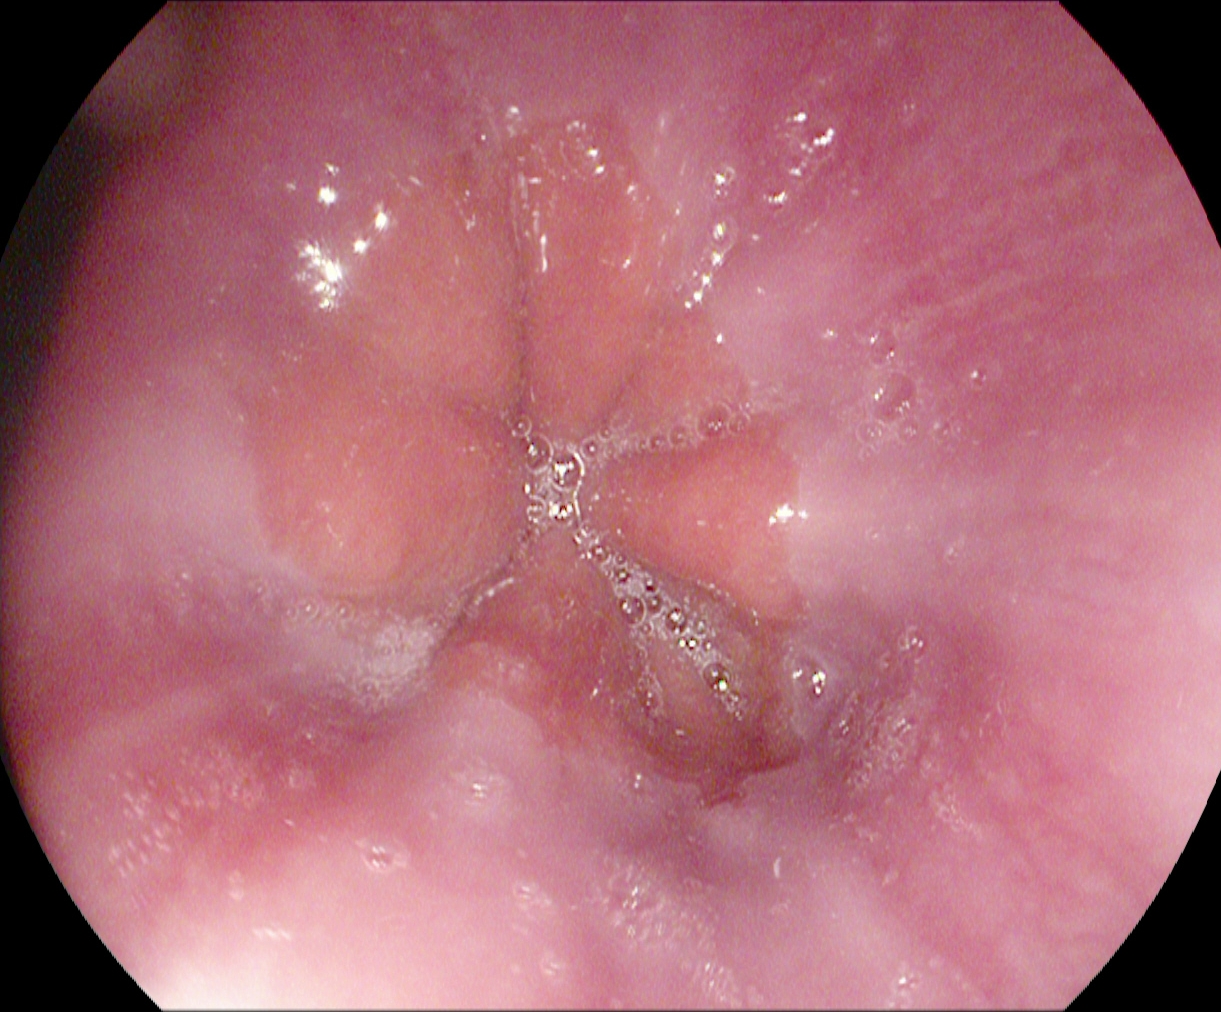{"modality": "gastroscopy", "tract": "upper GI tract", "finding": "Z-line (gastroesophageal junction)"}